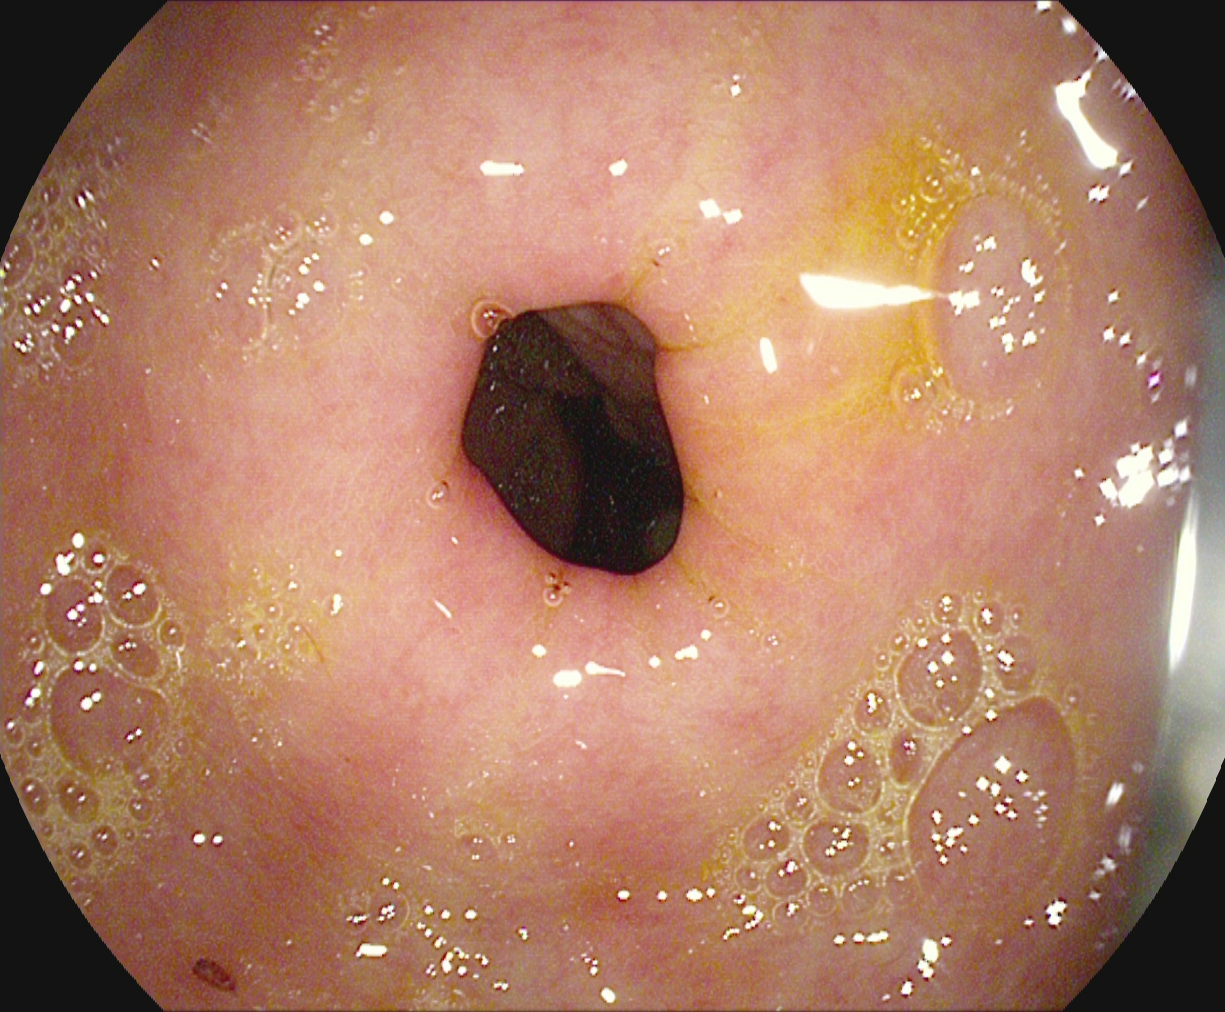{"modality": "esophagogastroduodenoscopy", "tract": "upper GI tract", "finding": "pylorus"}